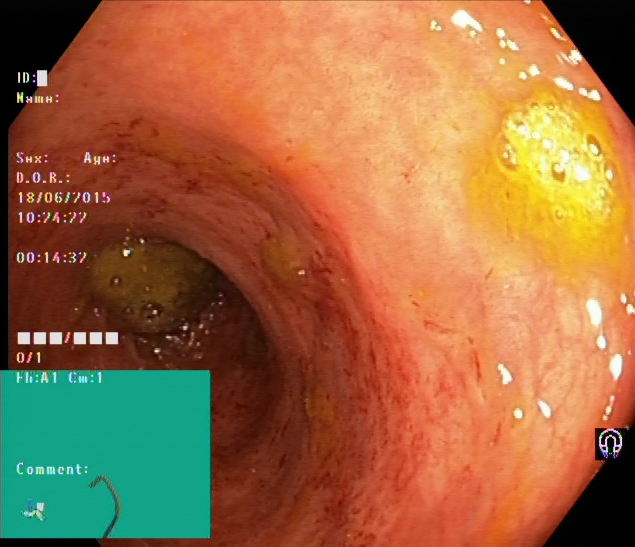Ulcerative colitis, Mayo endoscopic subscore 1.